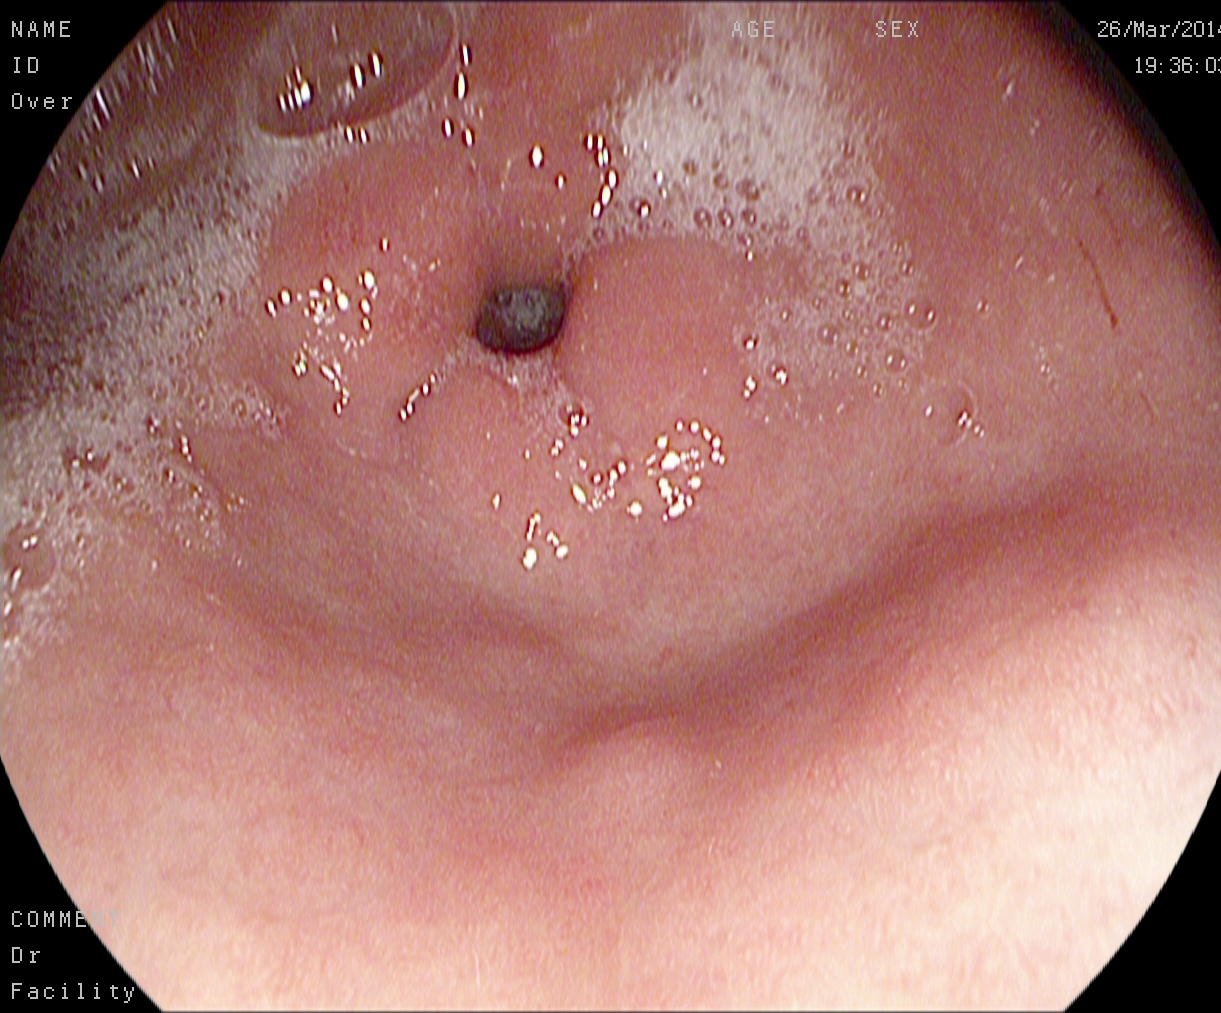Endoscopy image of the upper GI tract showing pylorus.